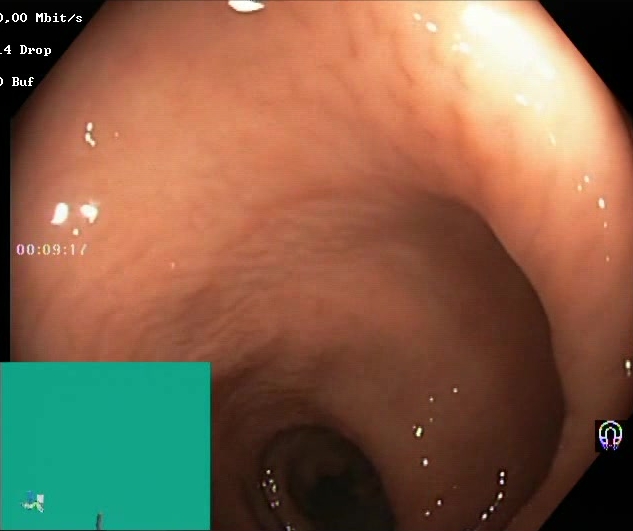Boston Bowel Preparation Scale score 2–3 (adequate preparation).